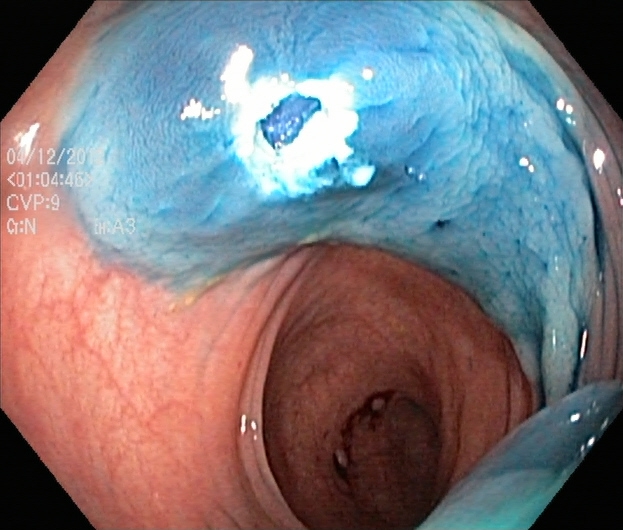Endoscopic image of the lower GI tract showing dyed resection margins (post-polypectomy).